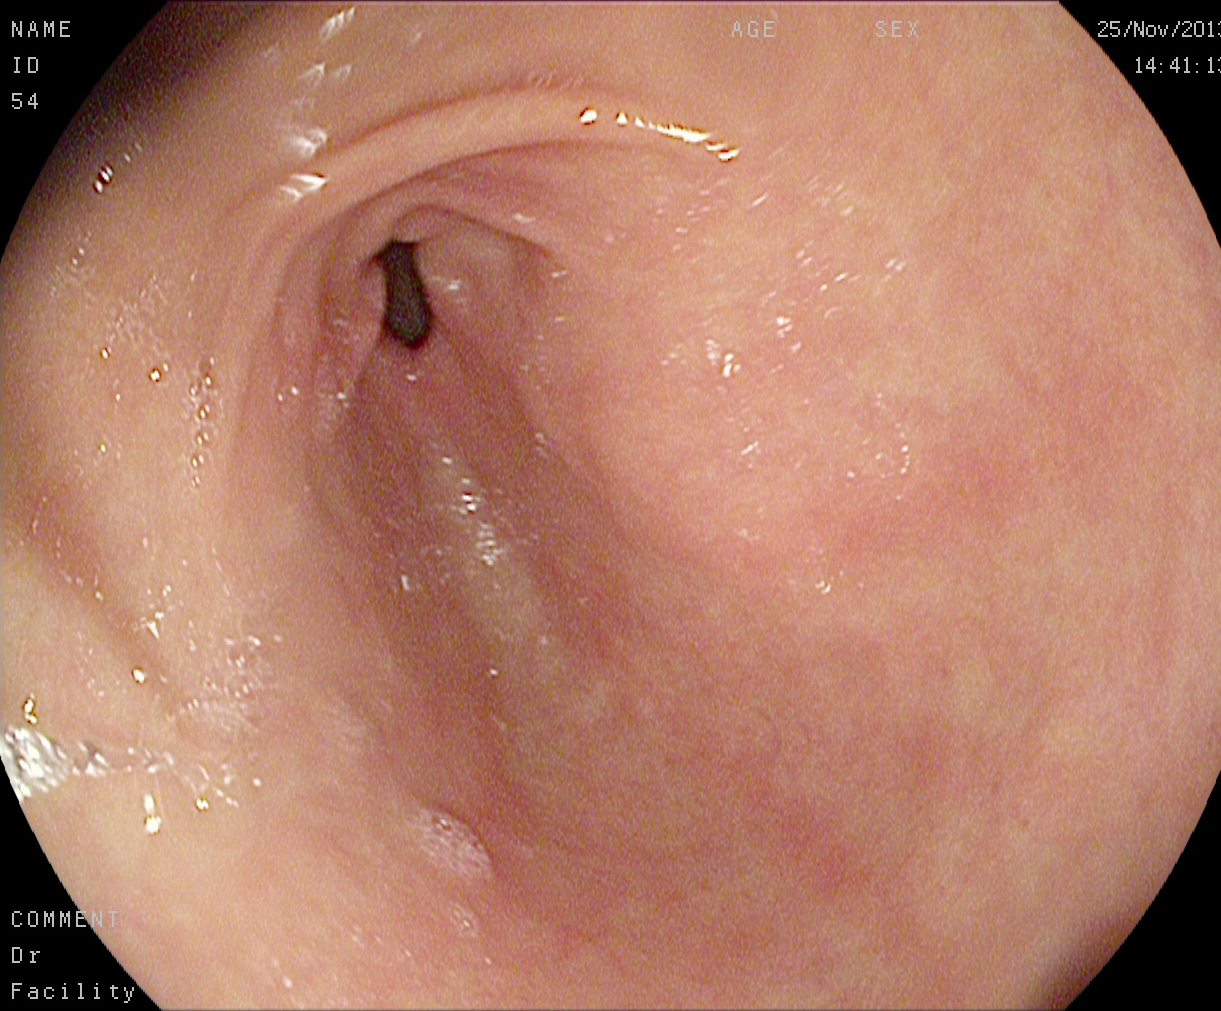This endoscopic image shows pylorus.